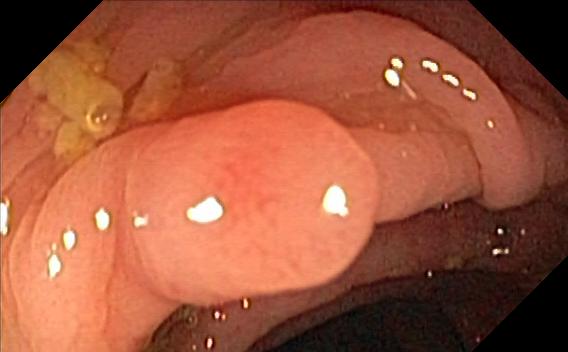{"modality": "colonoscopy", "category": "pathological finding", "finding": "colorectal polyp(s)"}